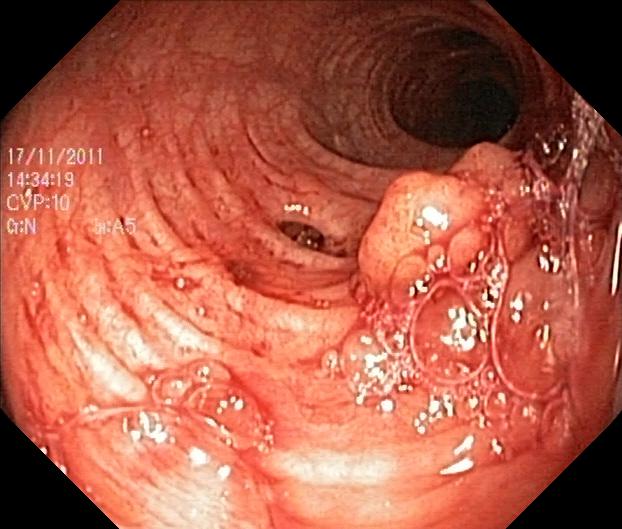This endoscopic image shows colorectal polyp(s).